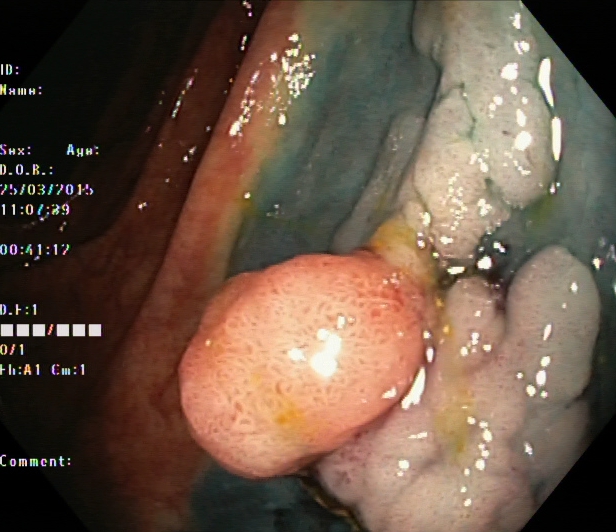Lower gastrointestinal endoscopy. Tract: lower GI tract. Finding: dyed and lifted polyp (pre-resection).